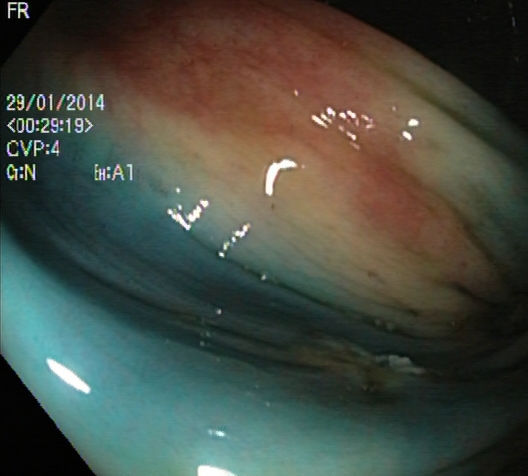Lower-GI endoscopy — dyed and lifted polyp (pre-resection).